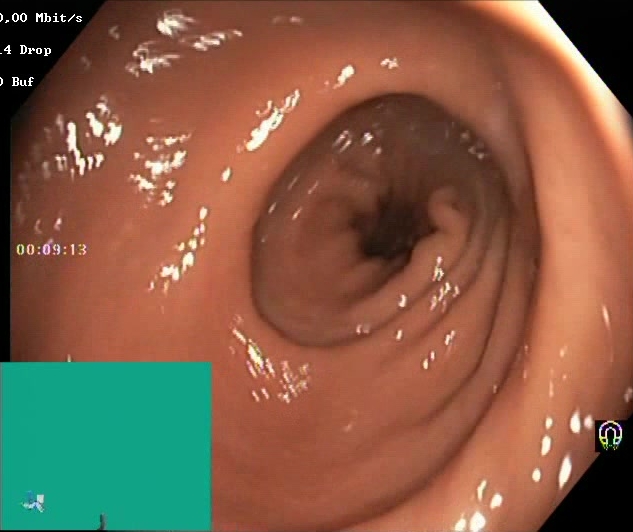Lower-GI endoscopy — Boston Bowel Preparation Scale score 2–3 (adequate preparation).